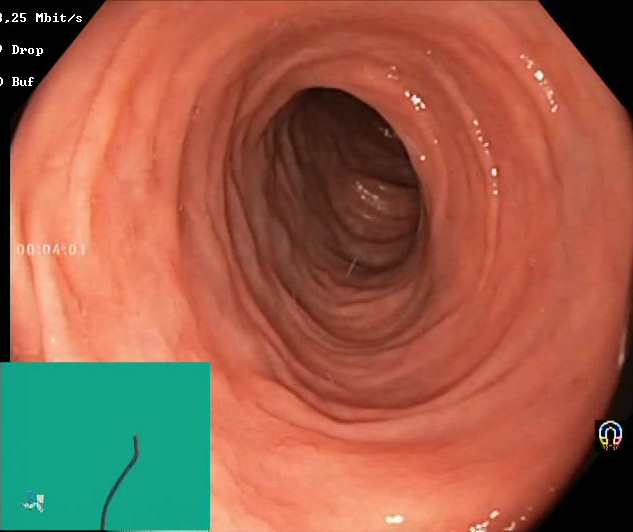Endoscopic frame of the lower GI tract showing BBPS score 2–3 (adequate preparation).